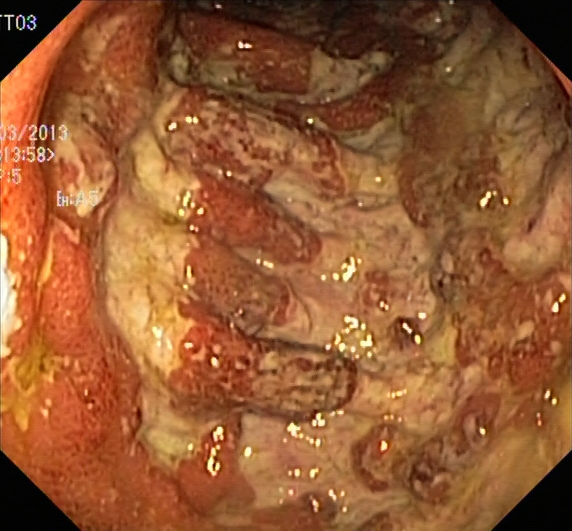{"modality": "lower-GI endoscopy", "finding": "ulcerative colitis, Mayo endoscopic subscore 3"}